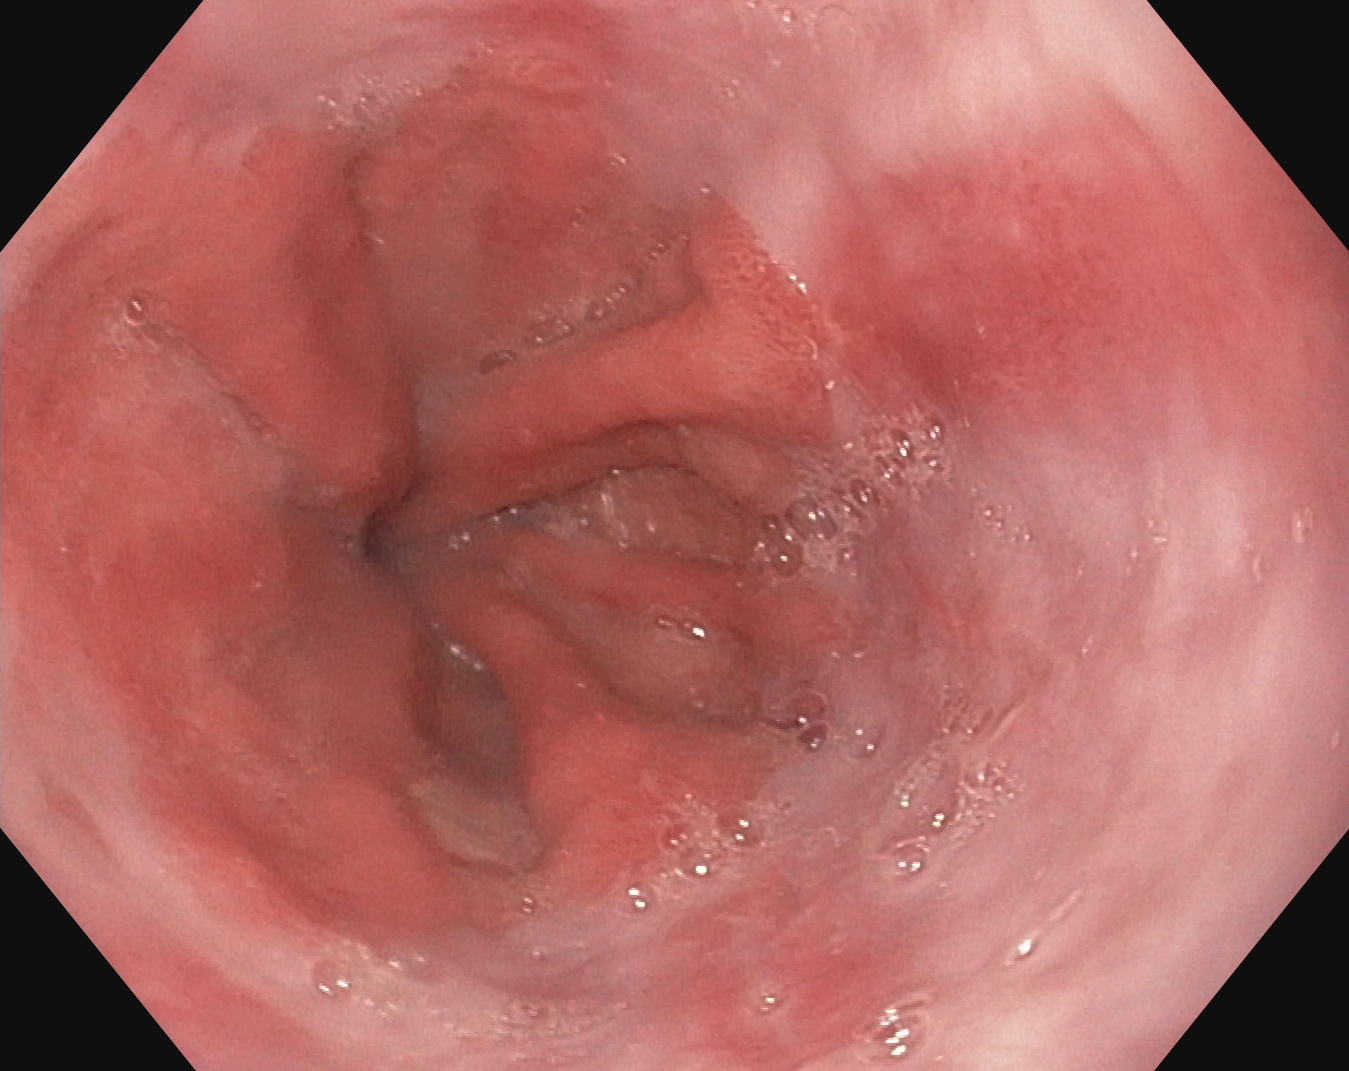This endoscopy frame of the upper GI tract shows reflux esophagitis, LA grade A.